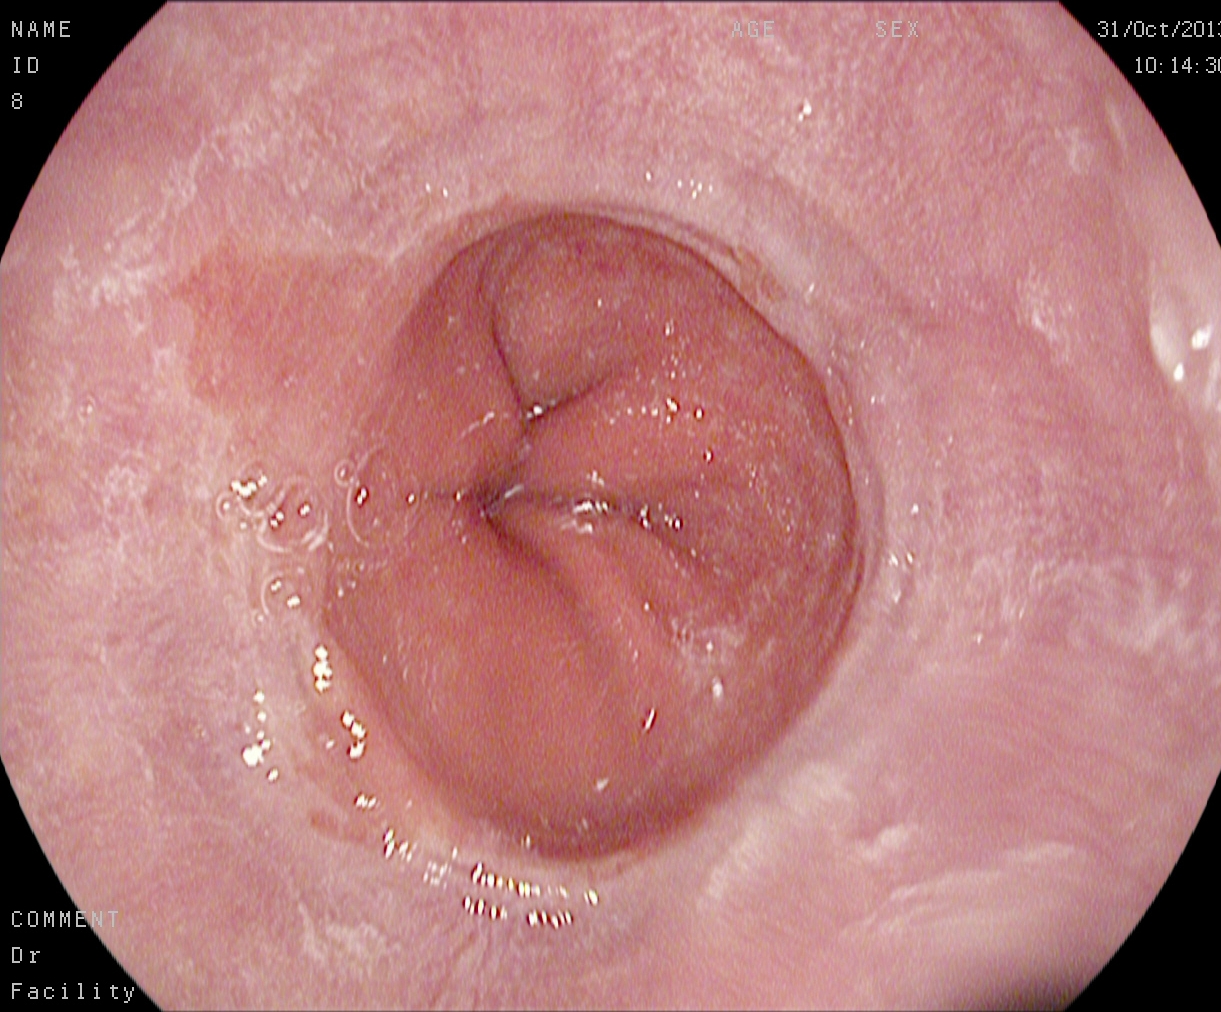Barrett's esophagus, short segment.